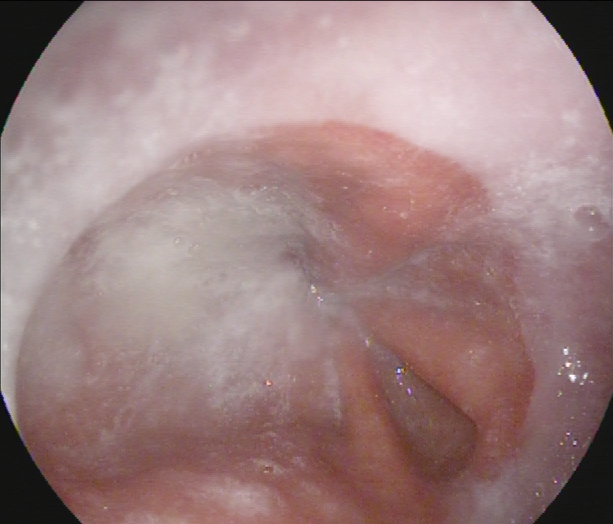modality: gastroscopy
finding: Z-line (gastroesophageal junction)